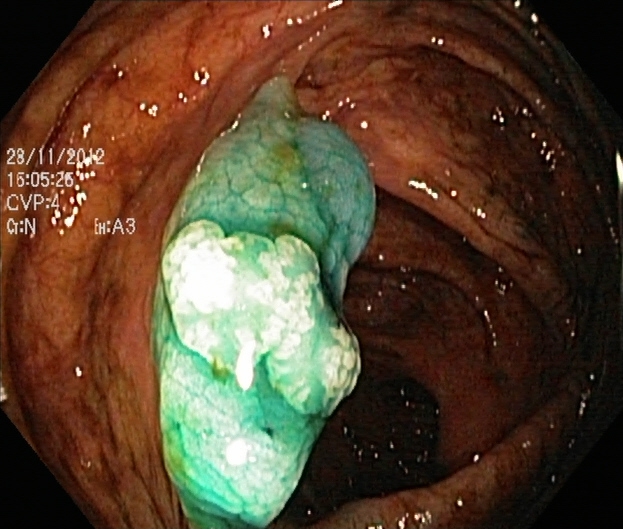dyed and lifted polyp (pre-resection).